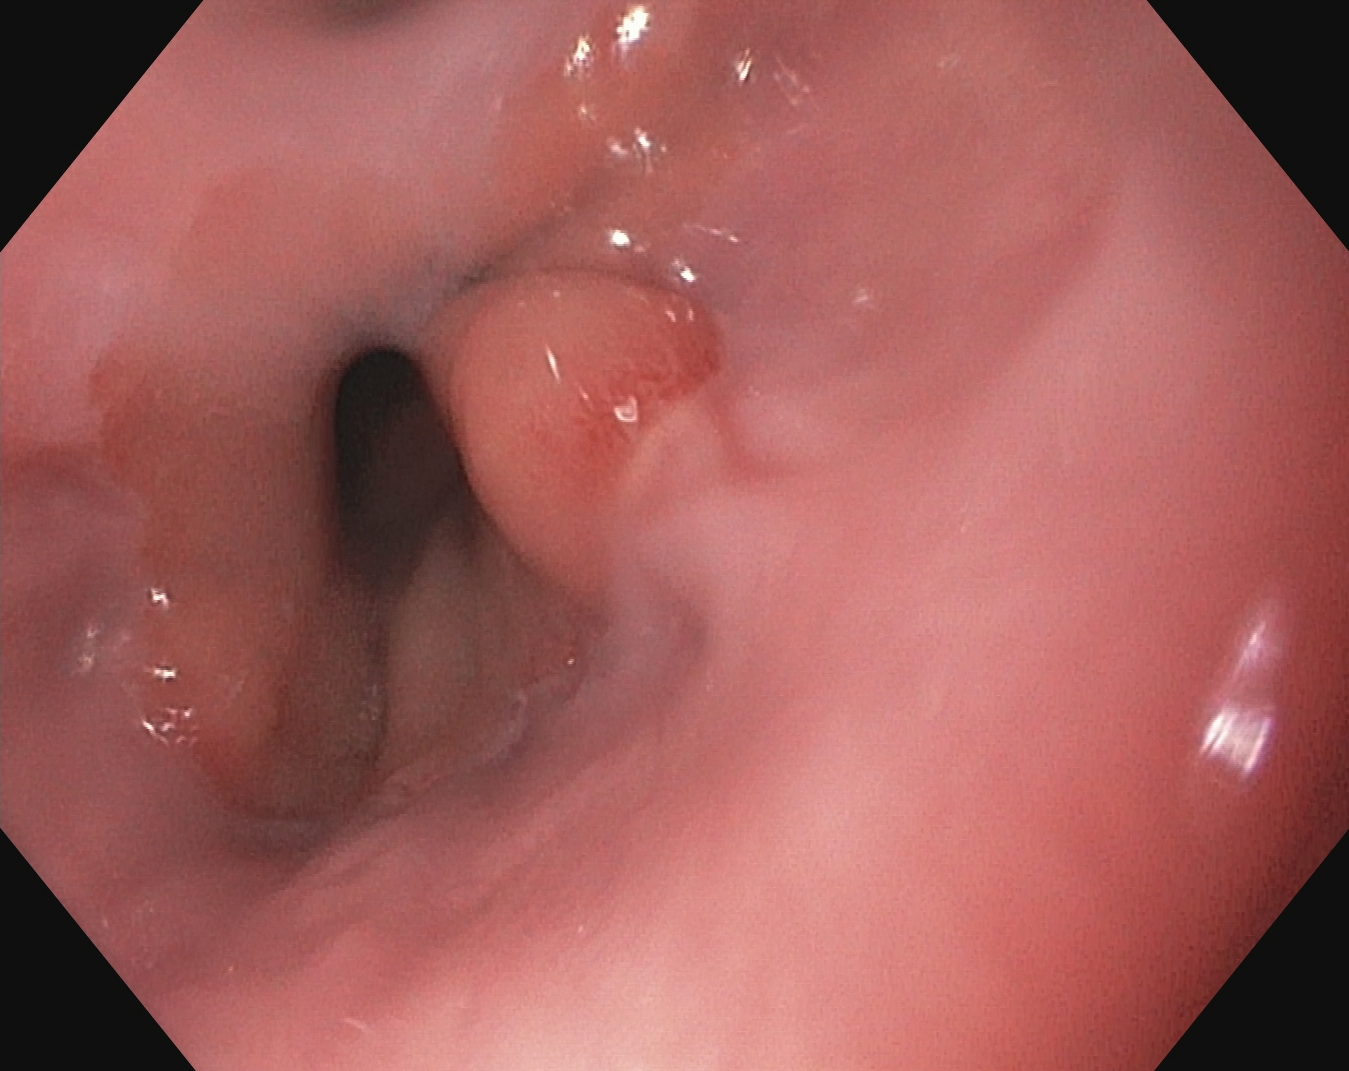This endoscopy frame of the upper GI tract shows reflux esophagitis, Los Angeles grade A.